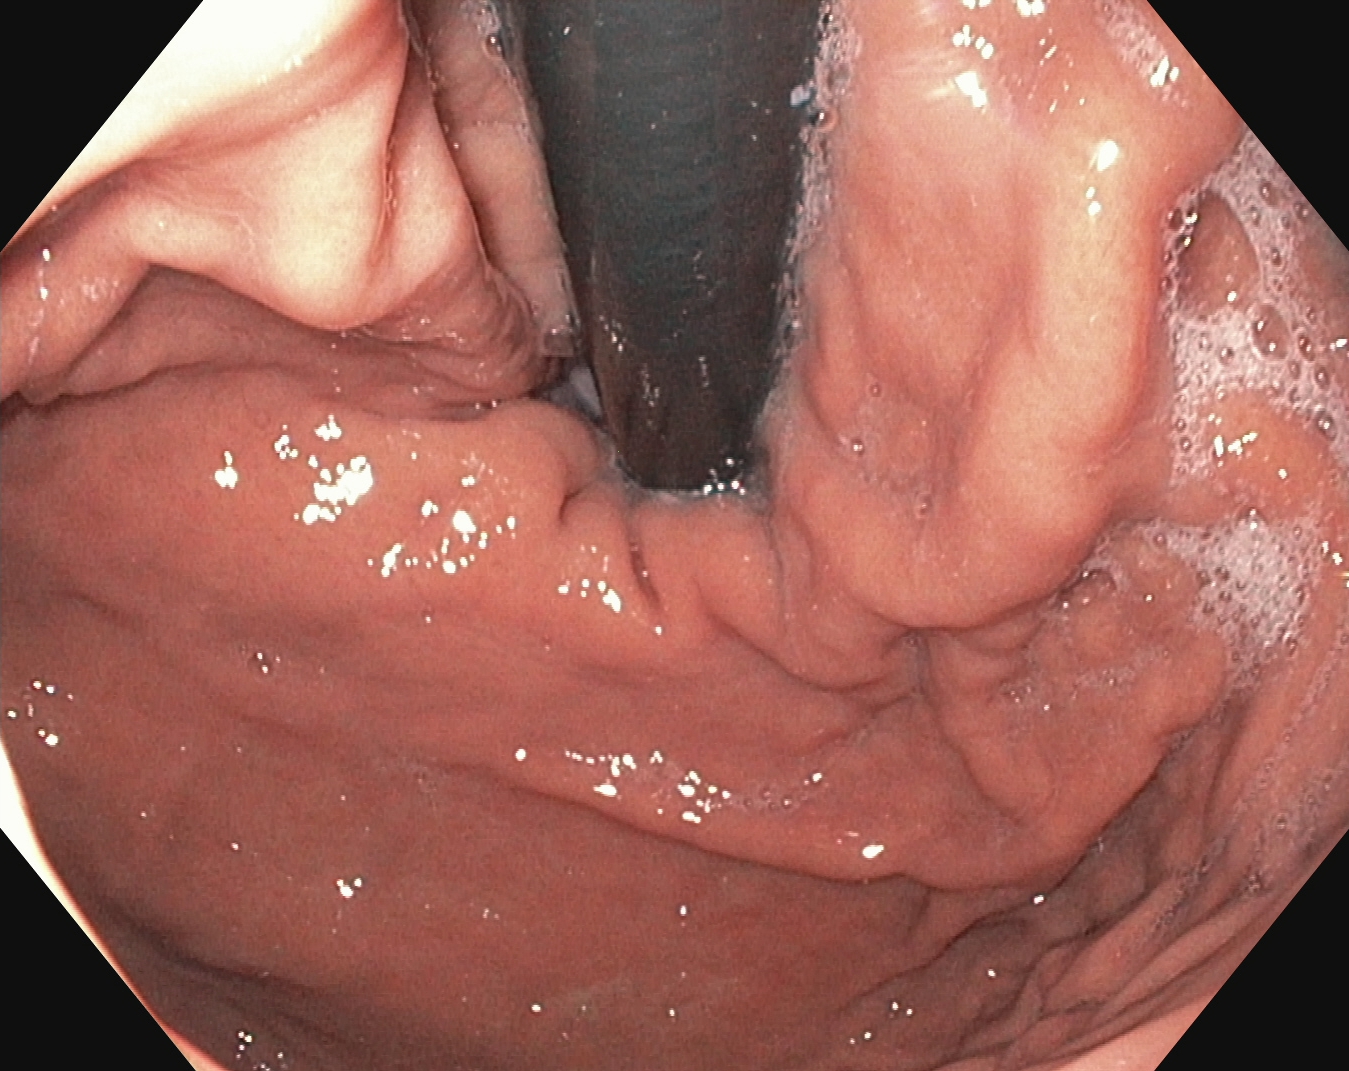Stomach in retroflexion.